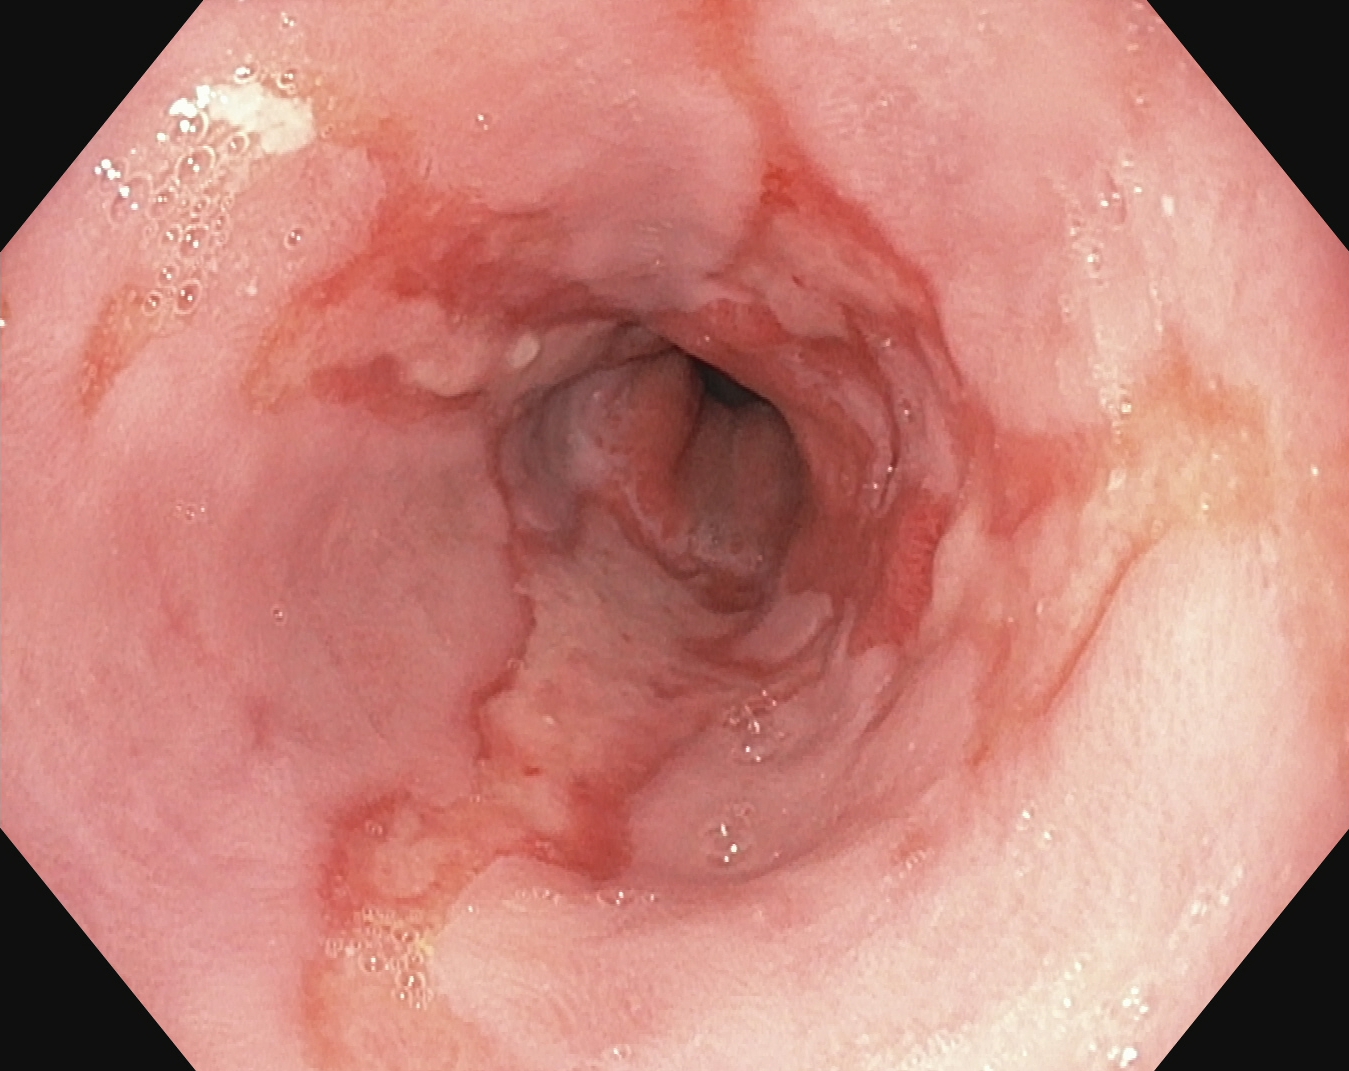Gastroscopy — reflux esophagitis, LA grade B–D.